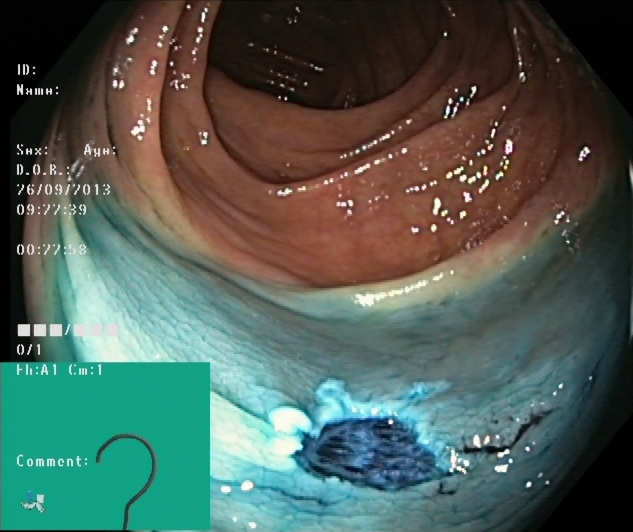Lower-GI endoscopy — dyed resection margins (post-polypectomy).